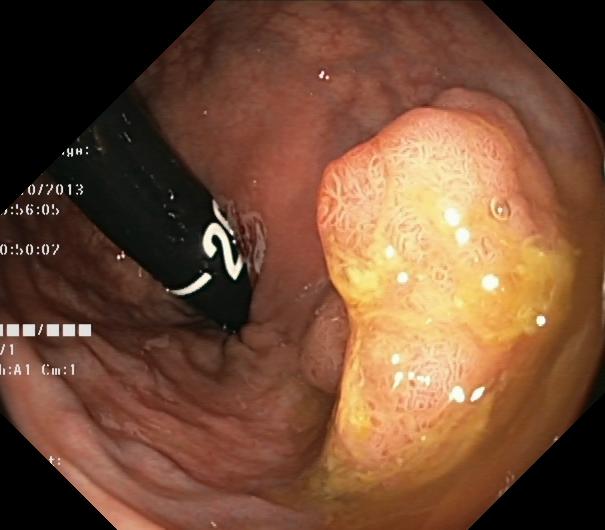Gastrointestinal endoscopy image of the lower GI tract showing colorectal polyp(s).